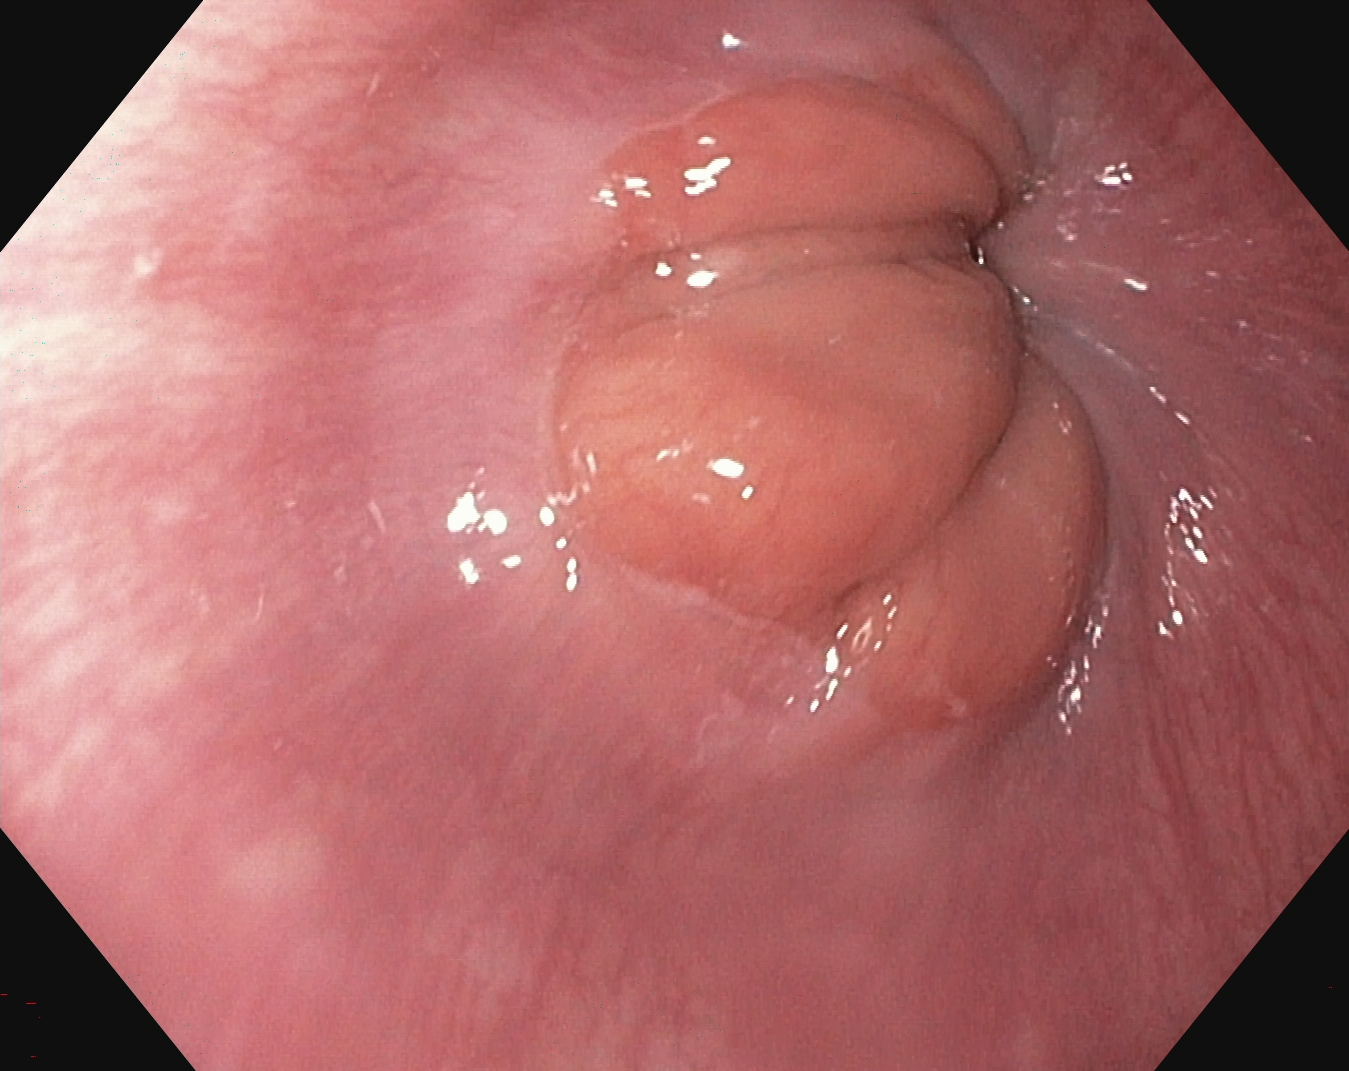This endoscopic image shows Z-line (gastroesophageal junction).